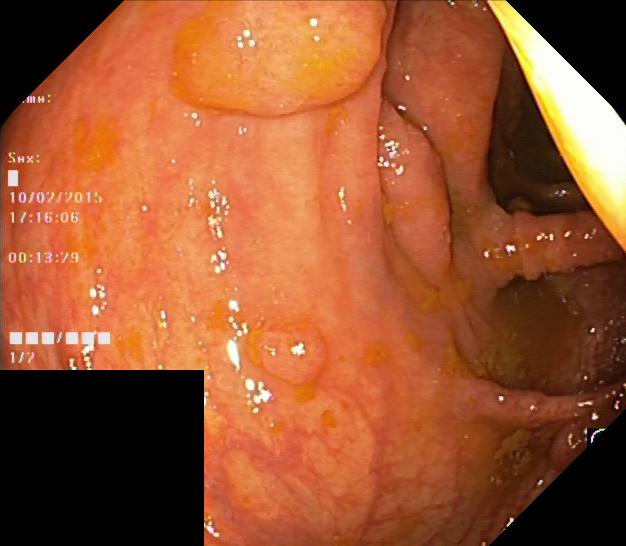Colonoscopy — colorectal polyp(s).